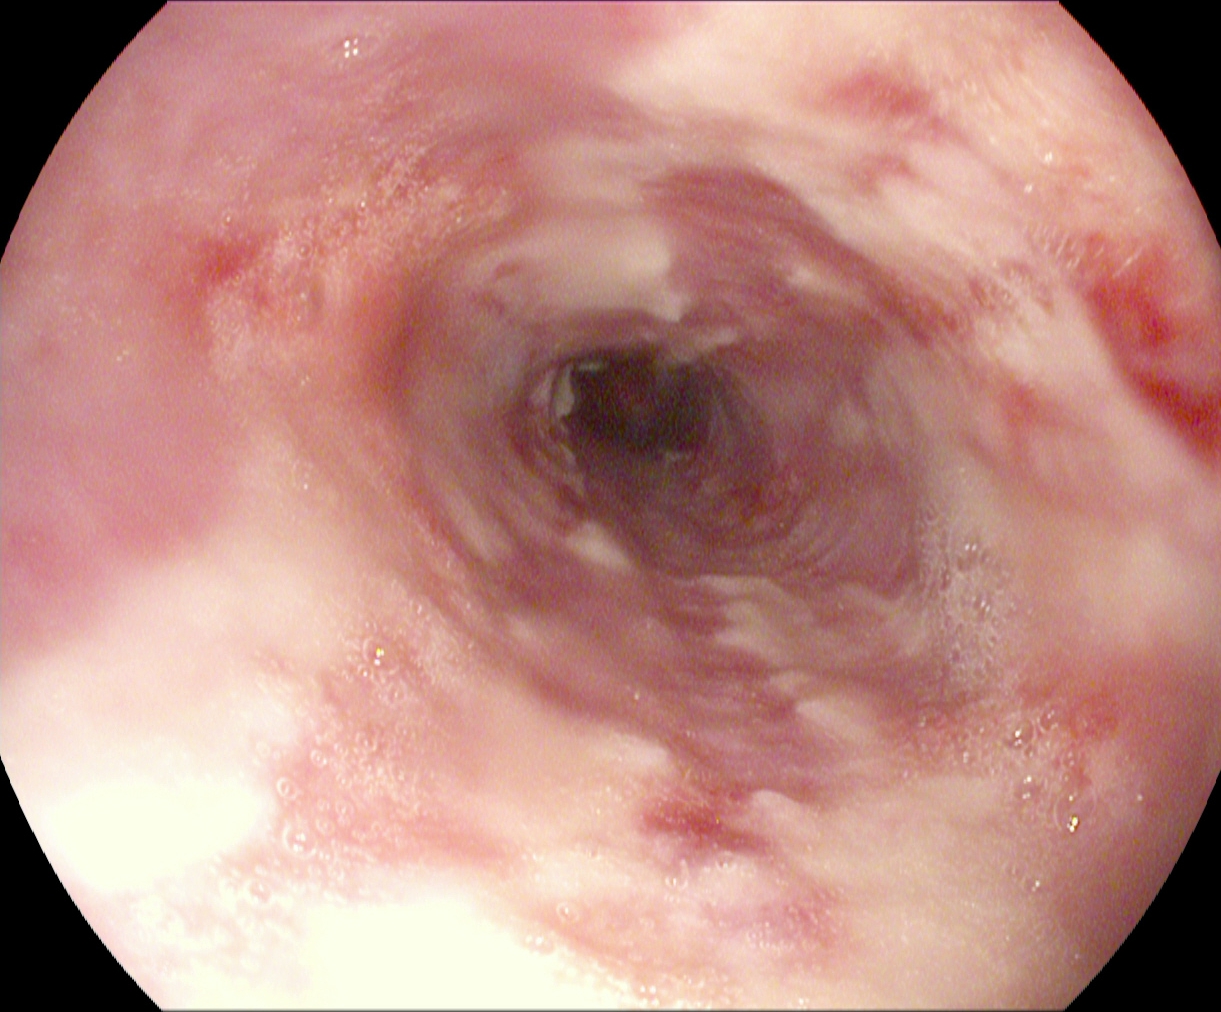Esophagogastroduodenoscopy. Tract: upper GI tract. Pathological finding. Finding: reflux esophagitis, Los Angeles grade B–D.